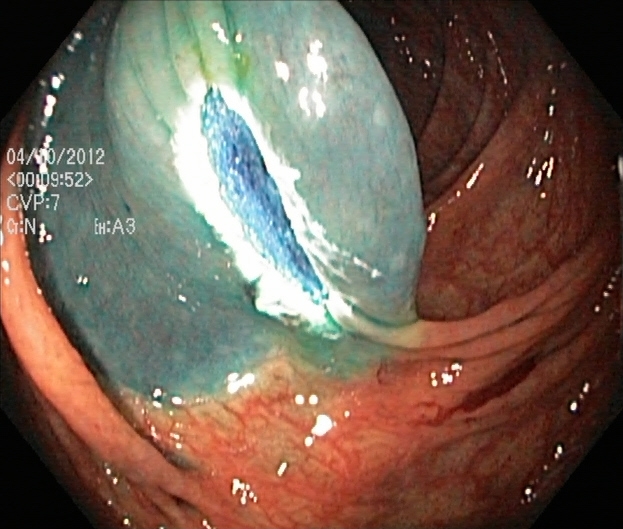Lower-GI endoscopy. Tract: lower GI tract. Finding: dyed resection margins (post-polypectomy).